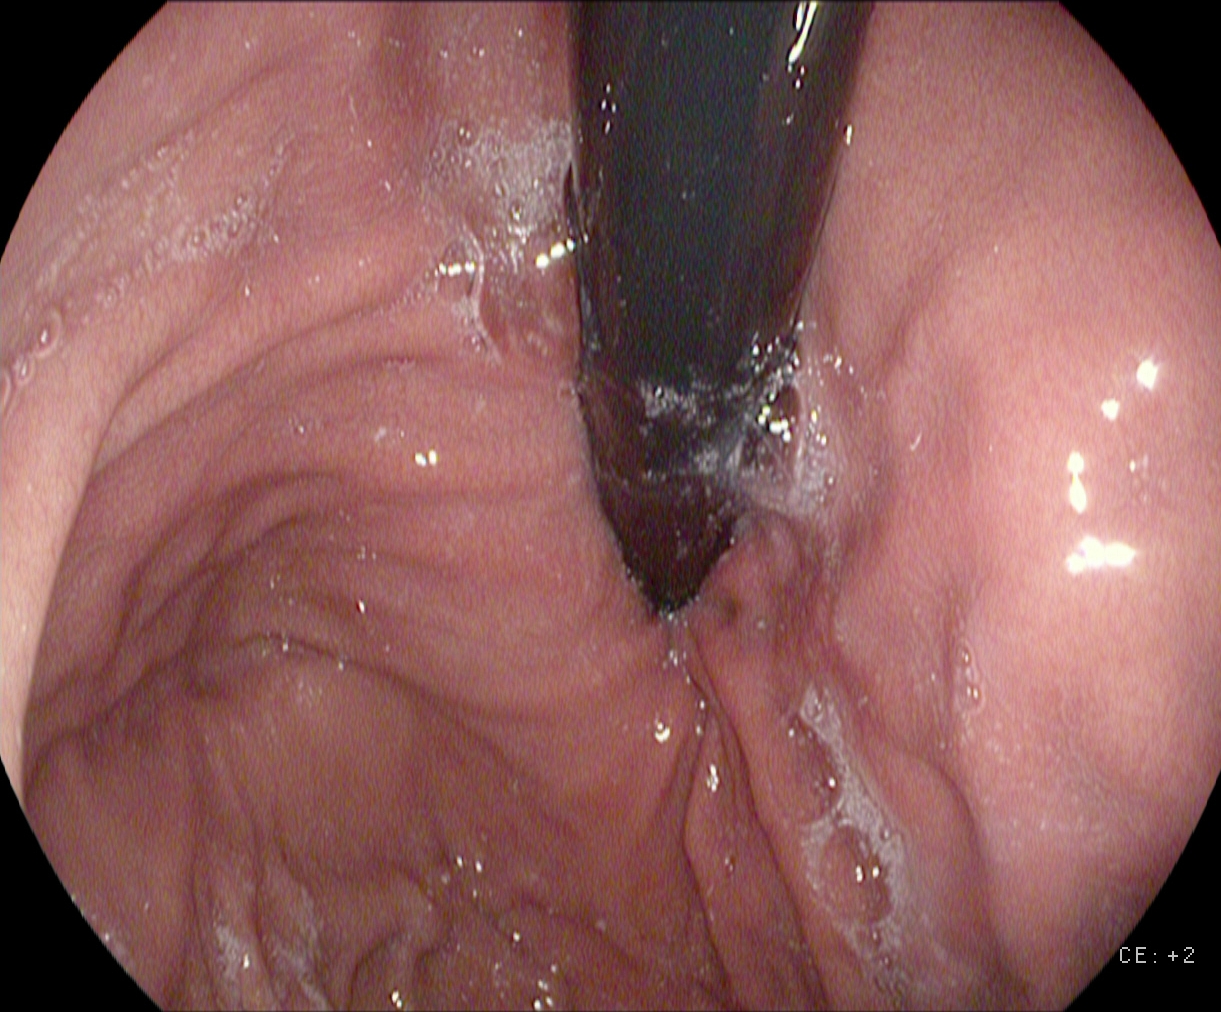This endoscopy frame shows stomach in retroflexion.